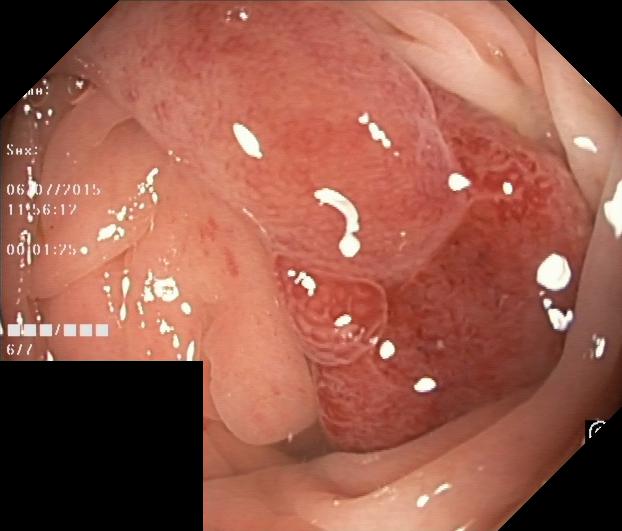This endoscopic image shows colorectal polyp(s).